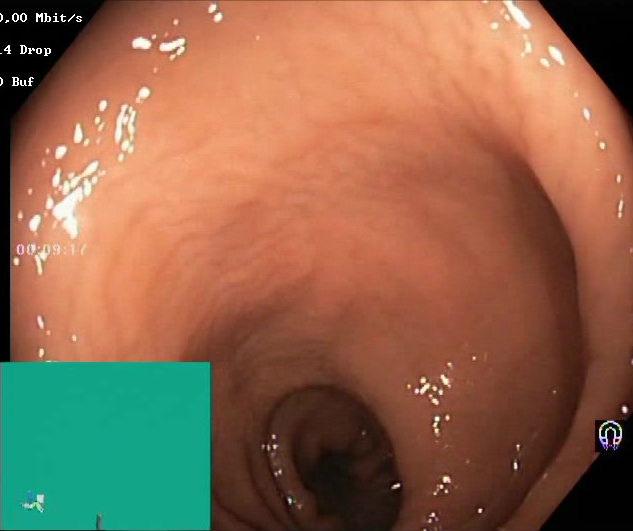This endoscopic image shows Boston Bowel Preparation Scale score 2–3 (adequate preparation).